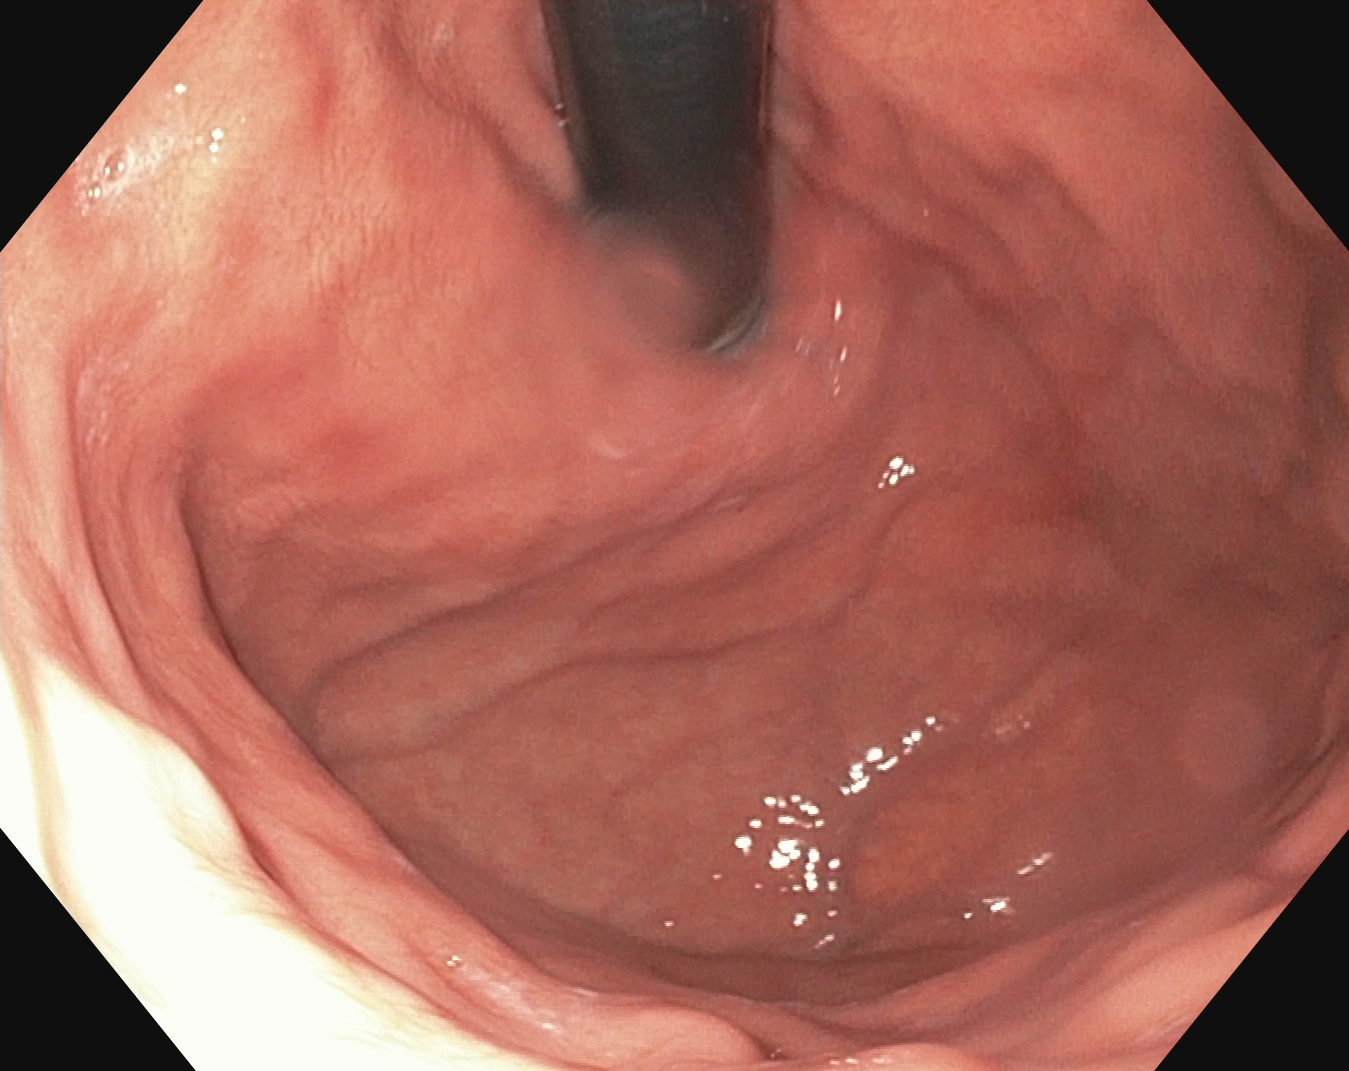Stomach in retroflexion.